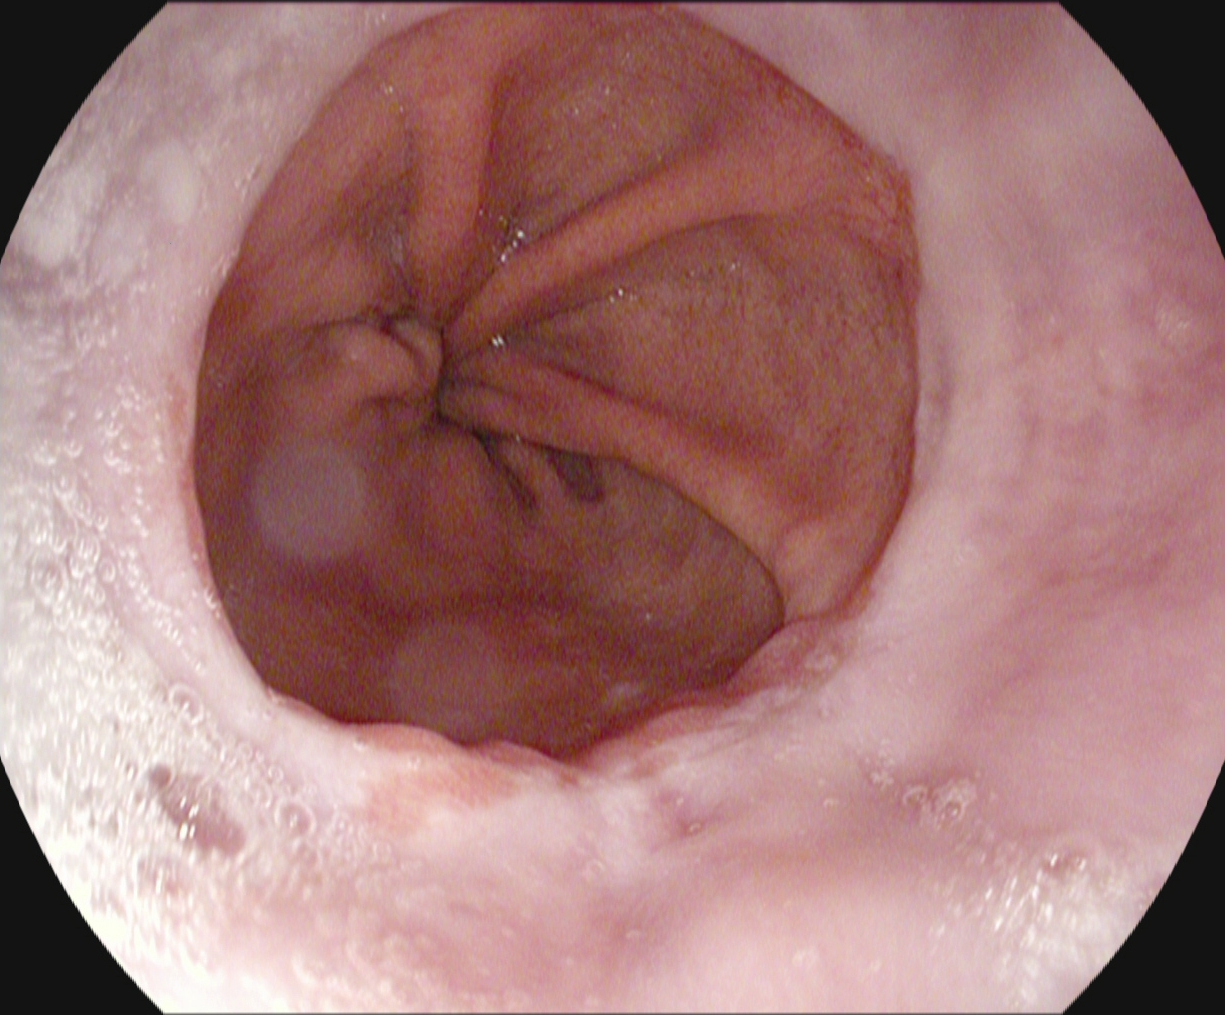Reflux esophagitis, LA grade A.